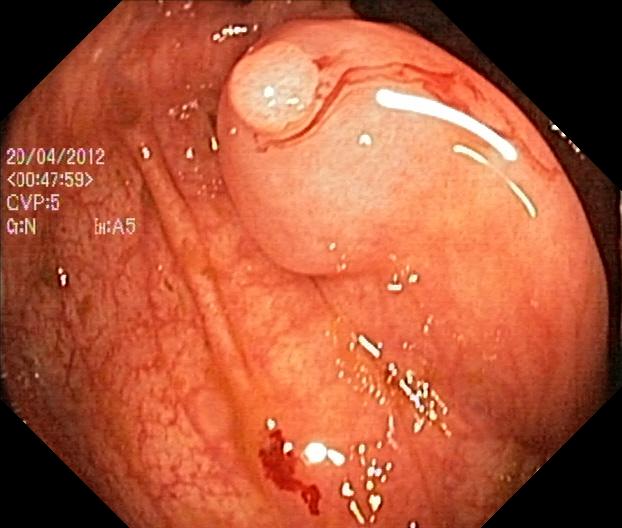modality: lower-GI endoscopy
finding: colorectal polyp(s)